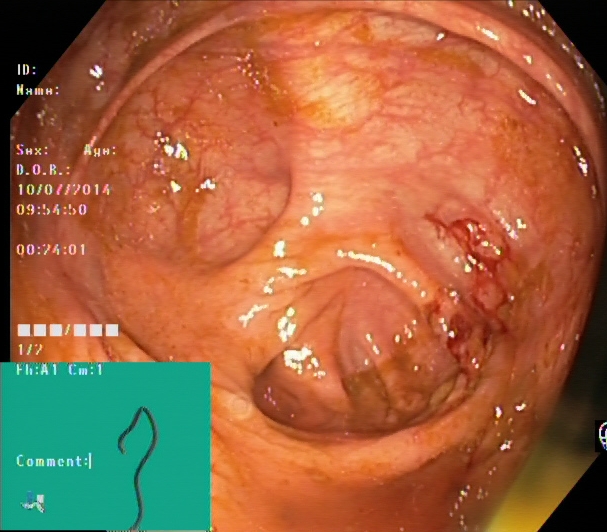{"modality": "lower-GI endoscopy", "finding": "cecum"}